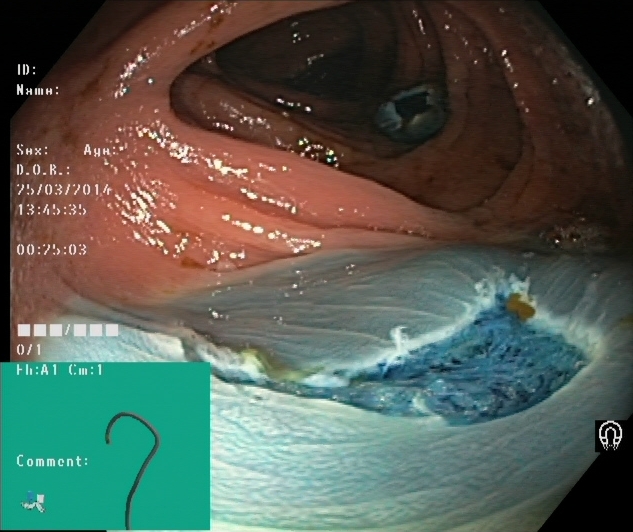PROCEDURE: Colonoscopy.
CATEGORY: Therapeutic intervention.
FINDINGS: Dyed resection margins (post-polypectomy).